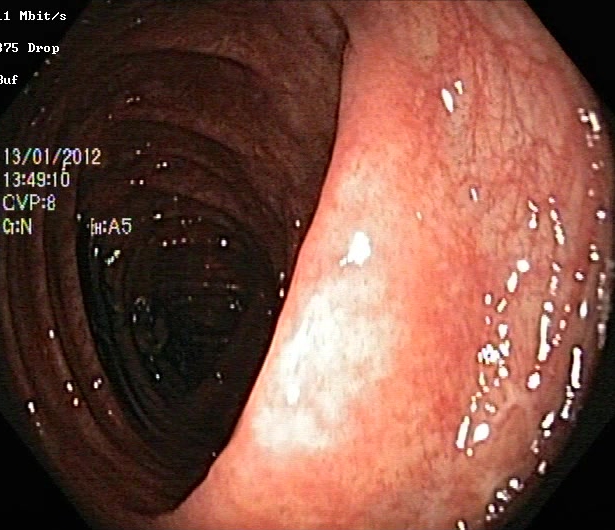{"modality": "lower gastrointestinal endoscopy", "tract": "lower GI tract", "category": "pathological finding", "finding": "UC, Mayo endoscopic subscore 1"}